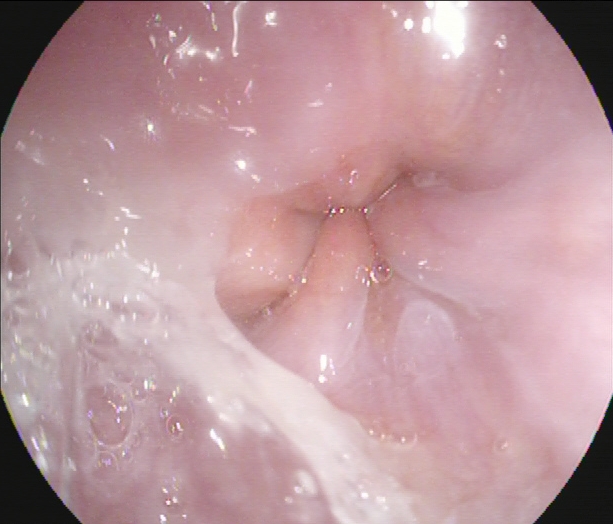PROCEDURE: Gastroscopy.
FINDINGS: Z-line (gastroesophageal junction).